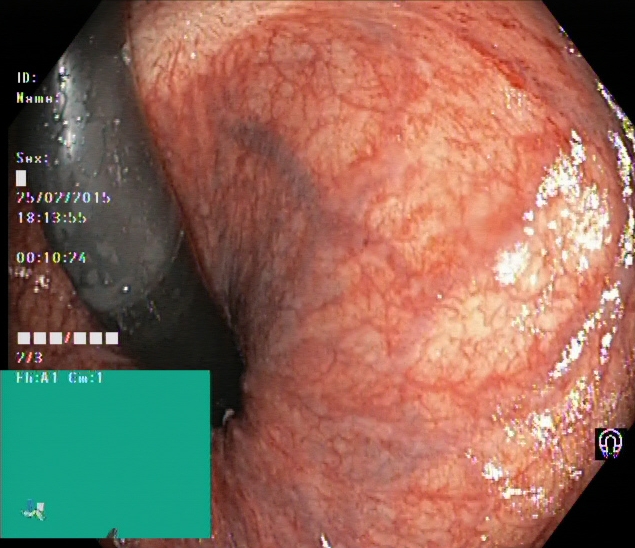Rectum in retroflexion.